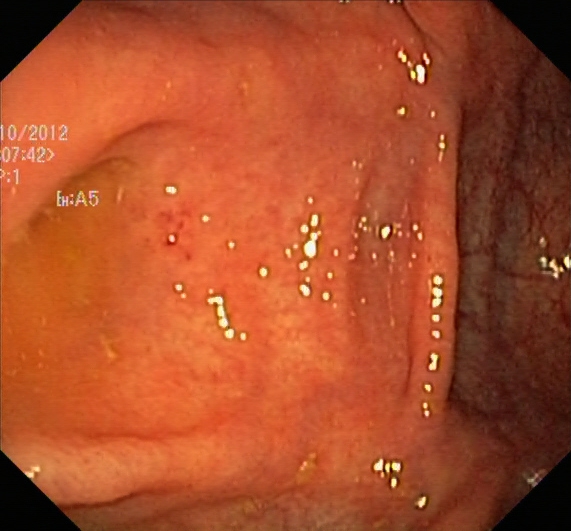Lower gastrointestinal endoscopy — cecum.